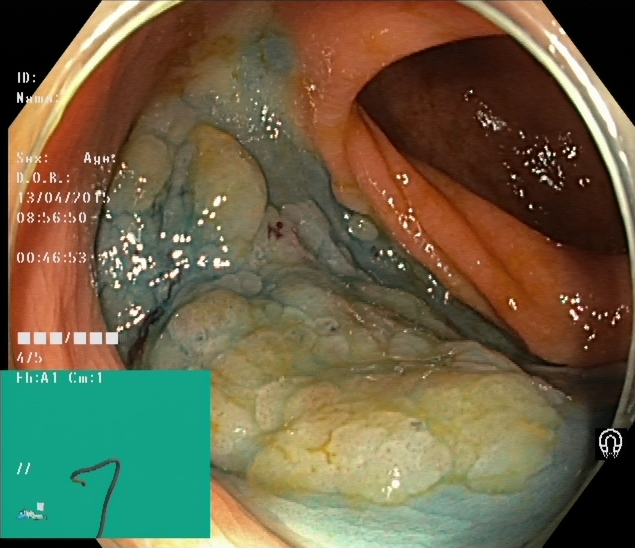Lower-GI endoscopy image showing dyed and lifted polyp (pre-resection).